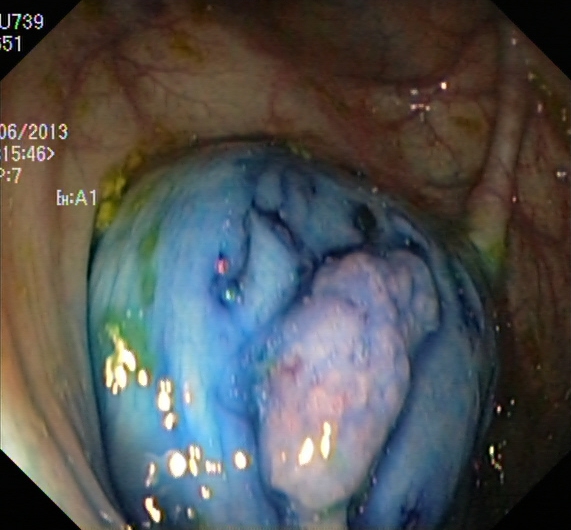This endoscopy frame shows dyed and lifted polyp (pre-resection).